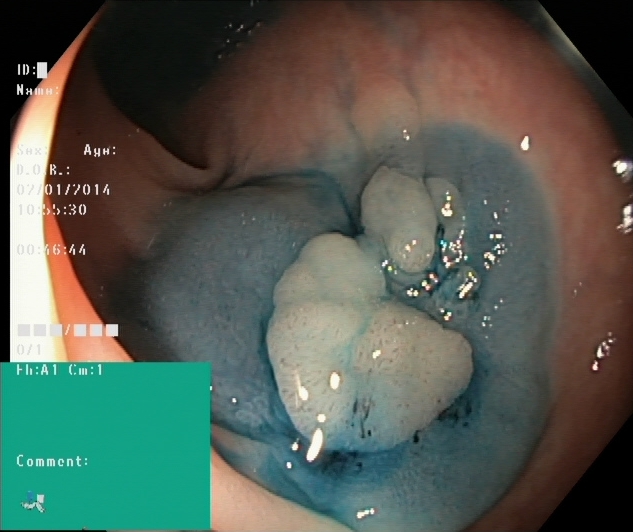Colonoscopy. Tract: lower GI tract. Therapeutic intervention. Finding: dyed and lifted polyp (pre-resection).